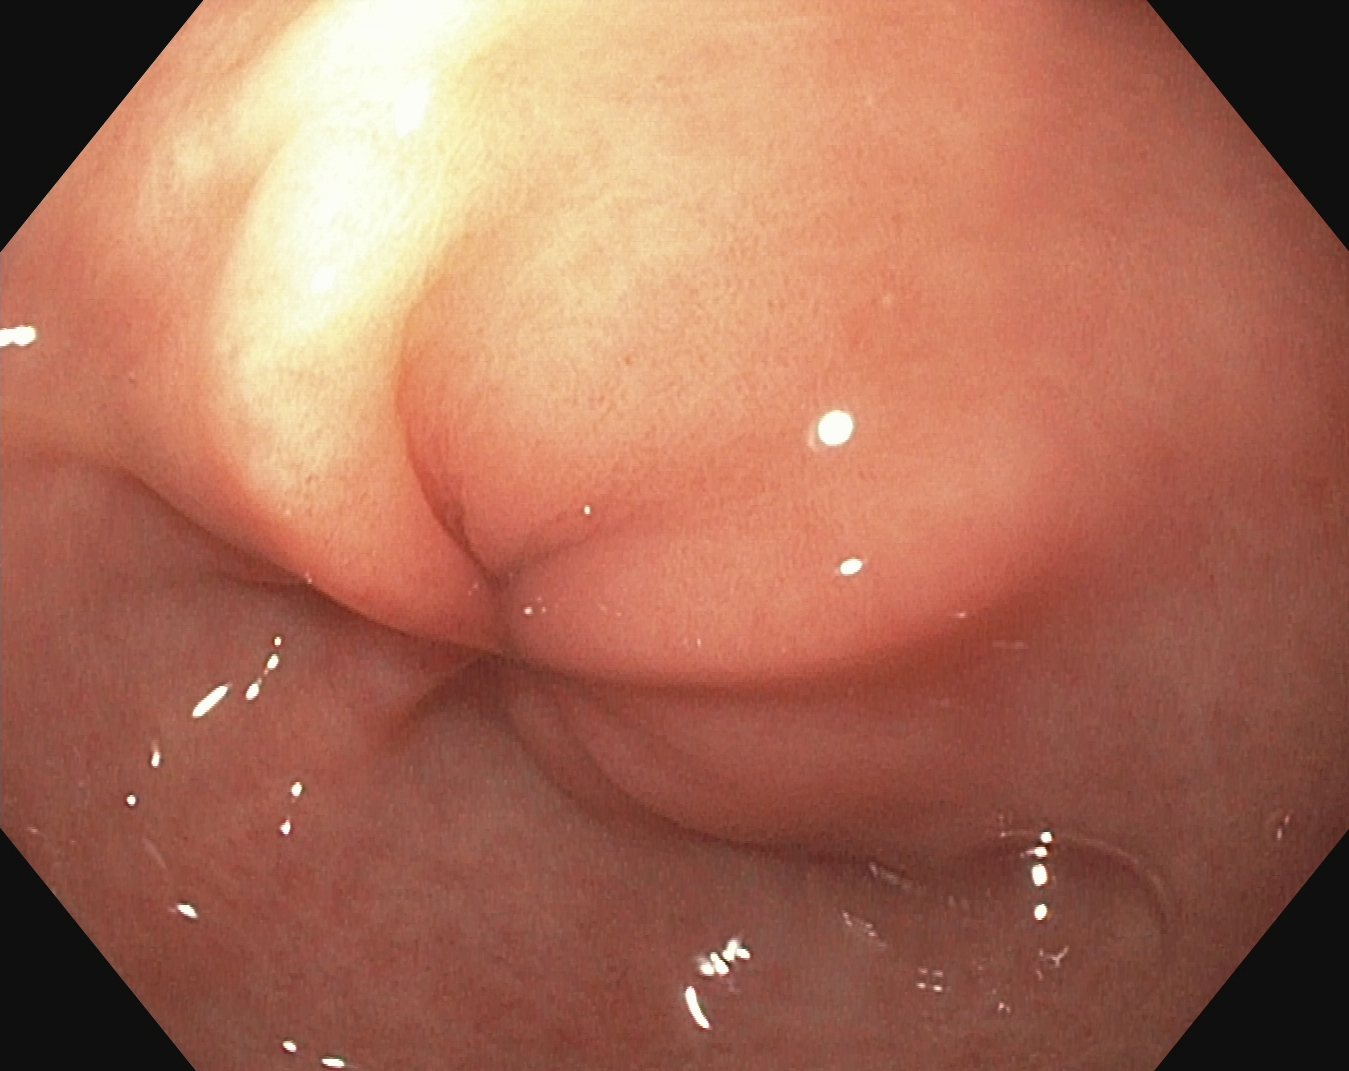EGD — pylorus.